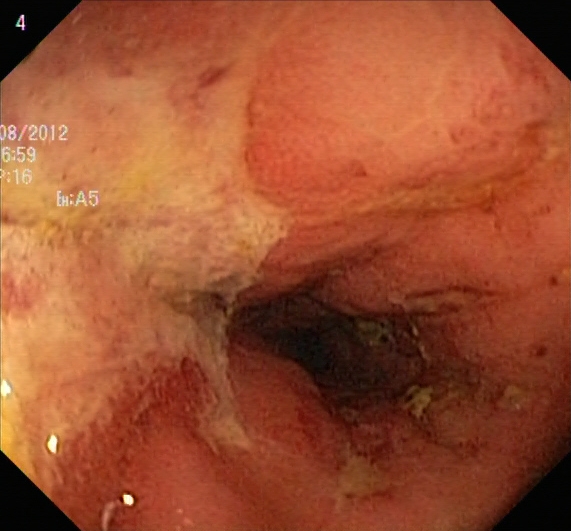UC, Mayo endoscopic subscore 3.